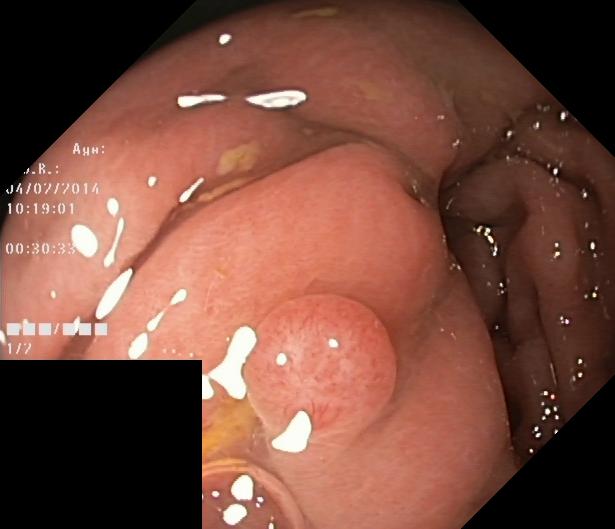Lower gastrointestinal endoscopy — colorectal polyp(s).